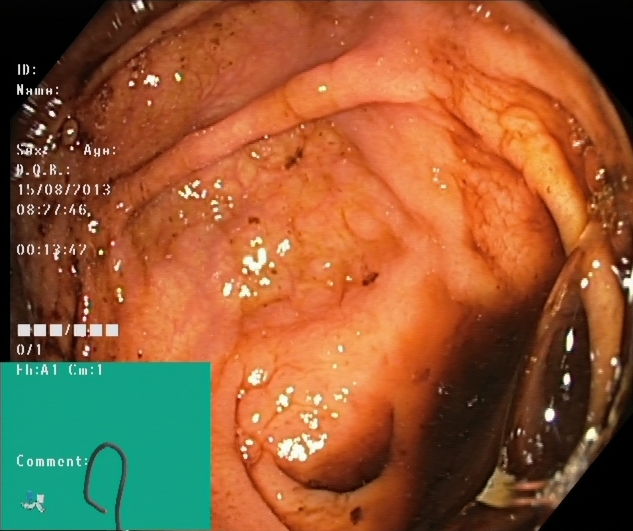Colonoscopy. Tract: lower GI tract. Finding: cecum.